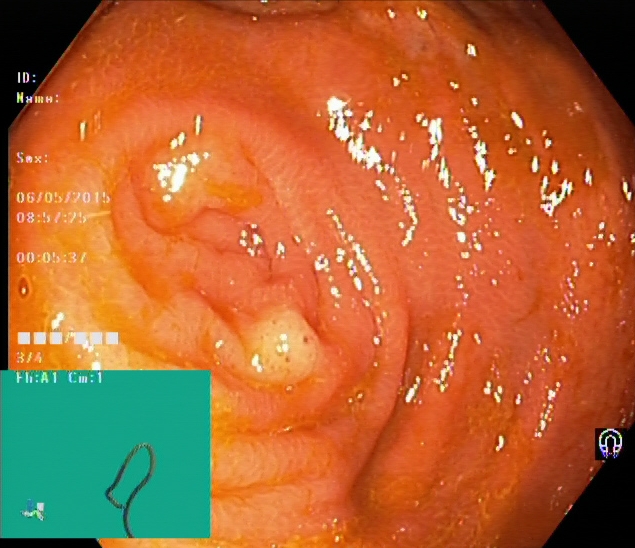Cecum.